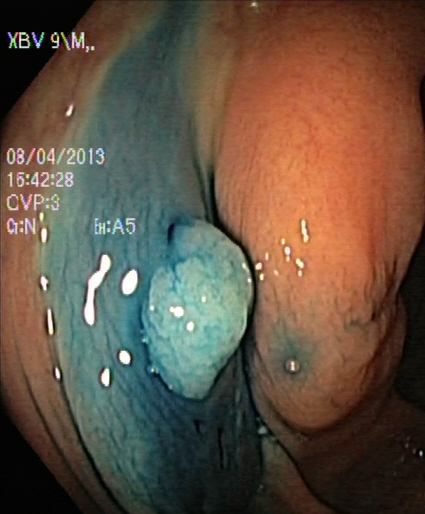Dyed and lifted polyp (pre-resection).